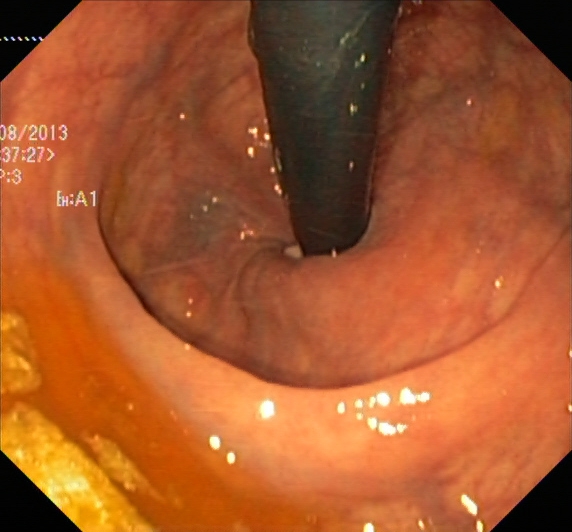This endoscopy frame shows rectum in retroflexion.